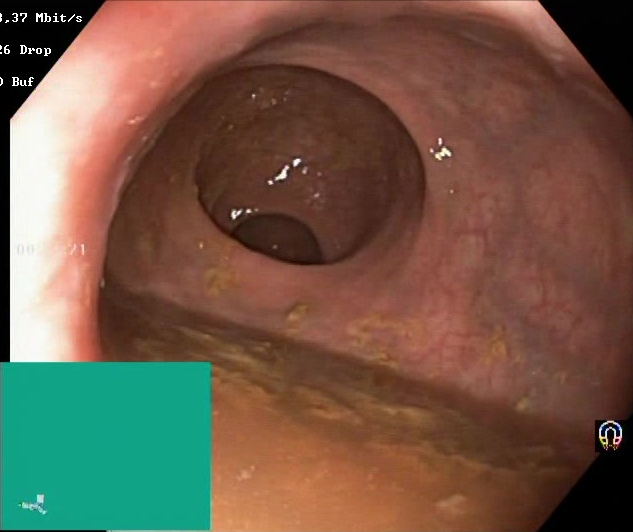{"modality": "colonoscopy", "tract": "lower GI tract", "category": "mucosal-view quality", "finding": "BBPS score 0\u20131 (inadequate preparation)"}